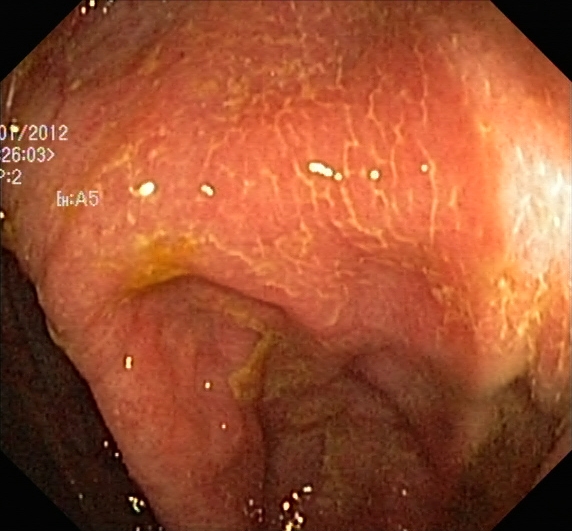This endoscopic image of the lower GI tract shows ulcerative colitis, Mayo endoscopic subscore 2.